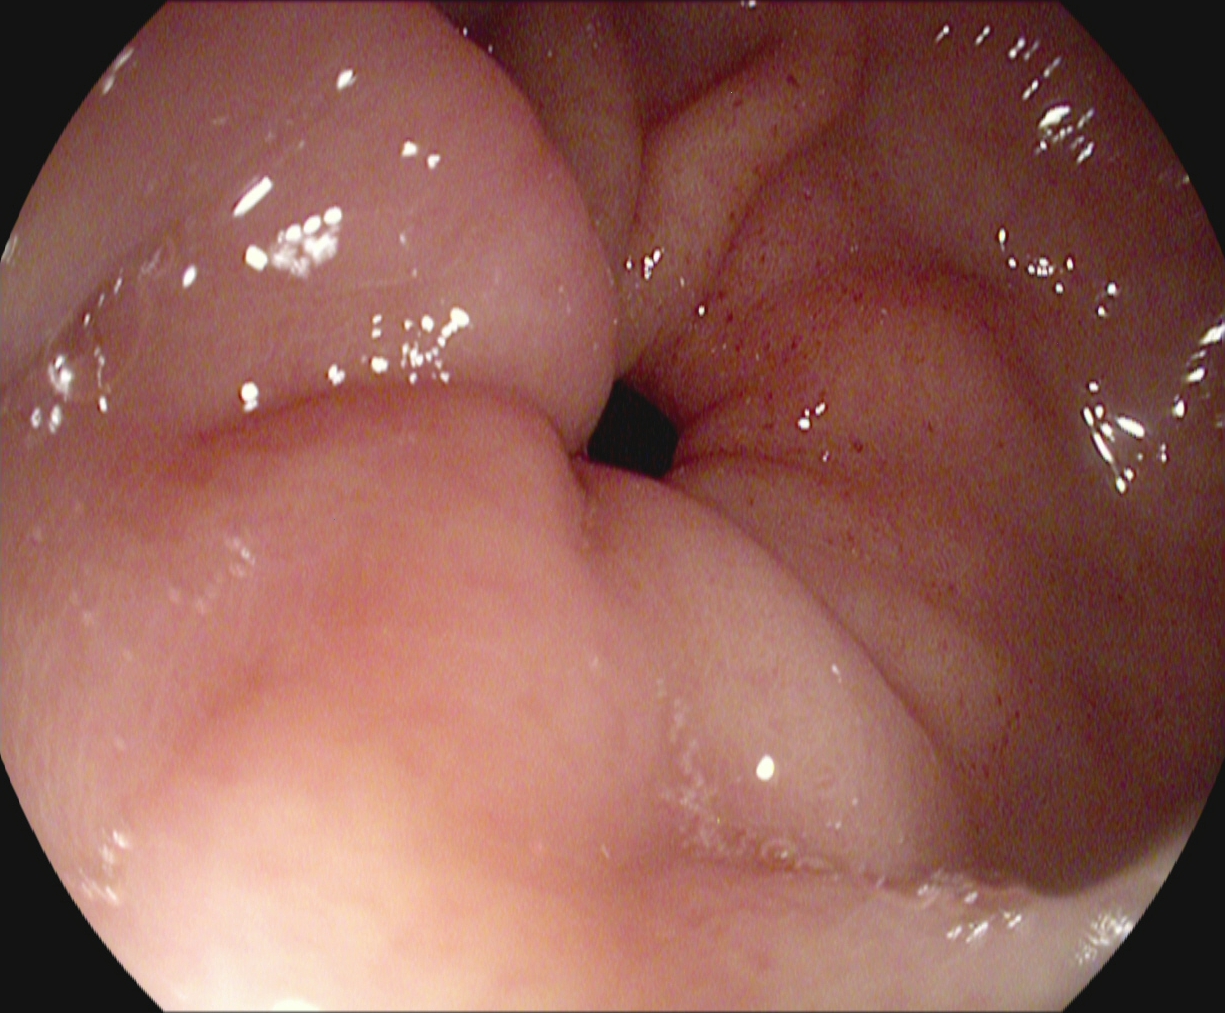This endoscopy frame of the upper GI tract shows pylorus.